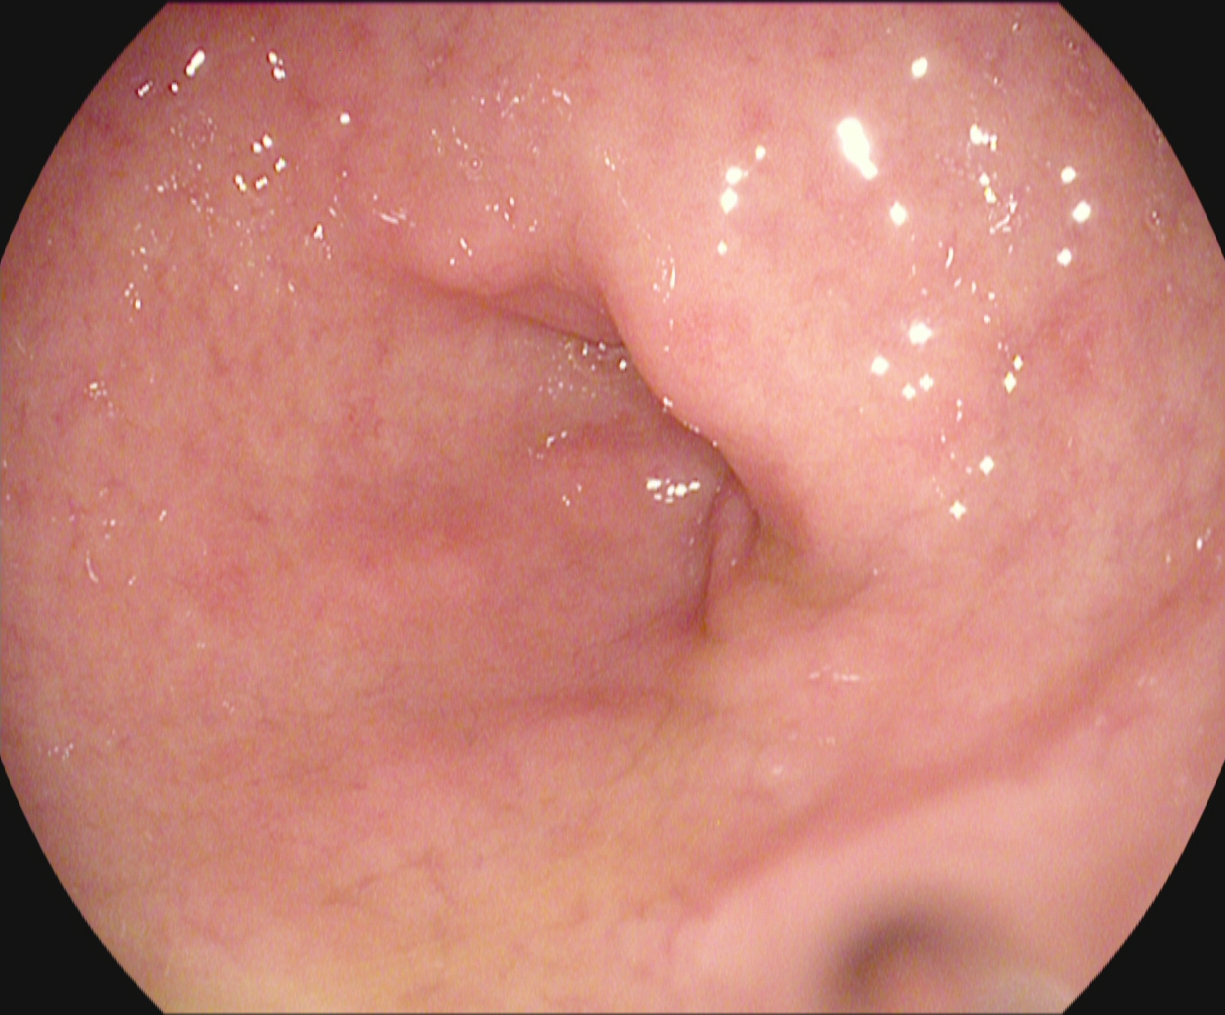Pylorus.